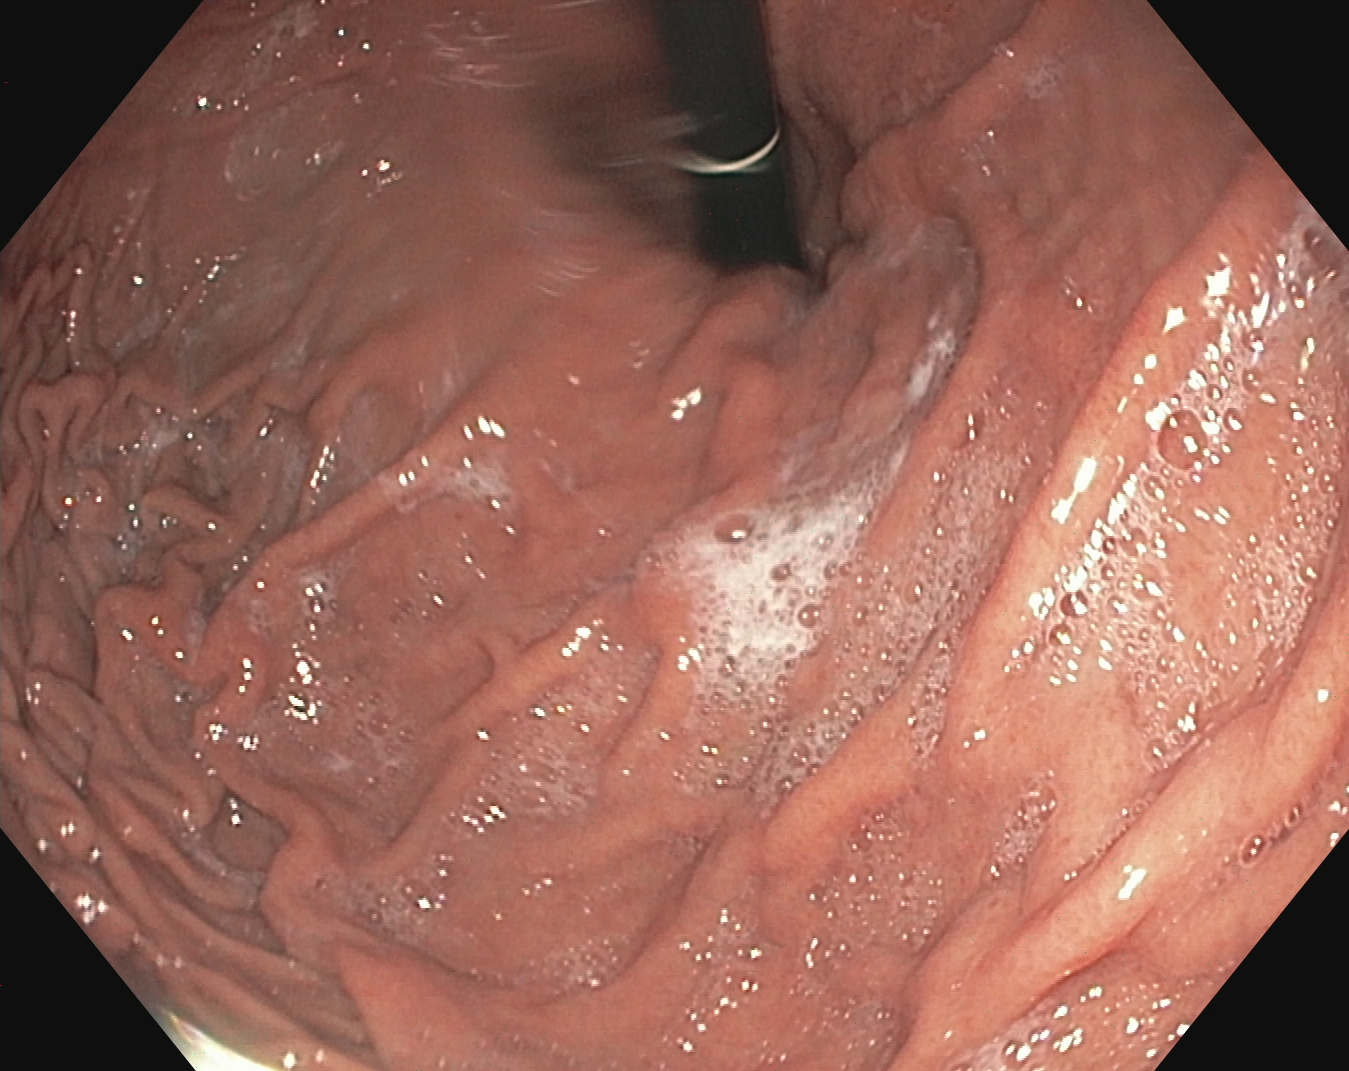This endoscopy frame of the upper GI tract shows stomach in retroflexion.